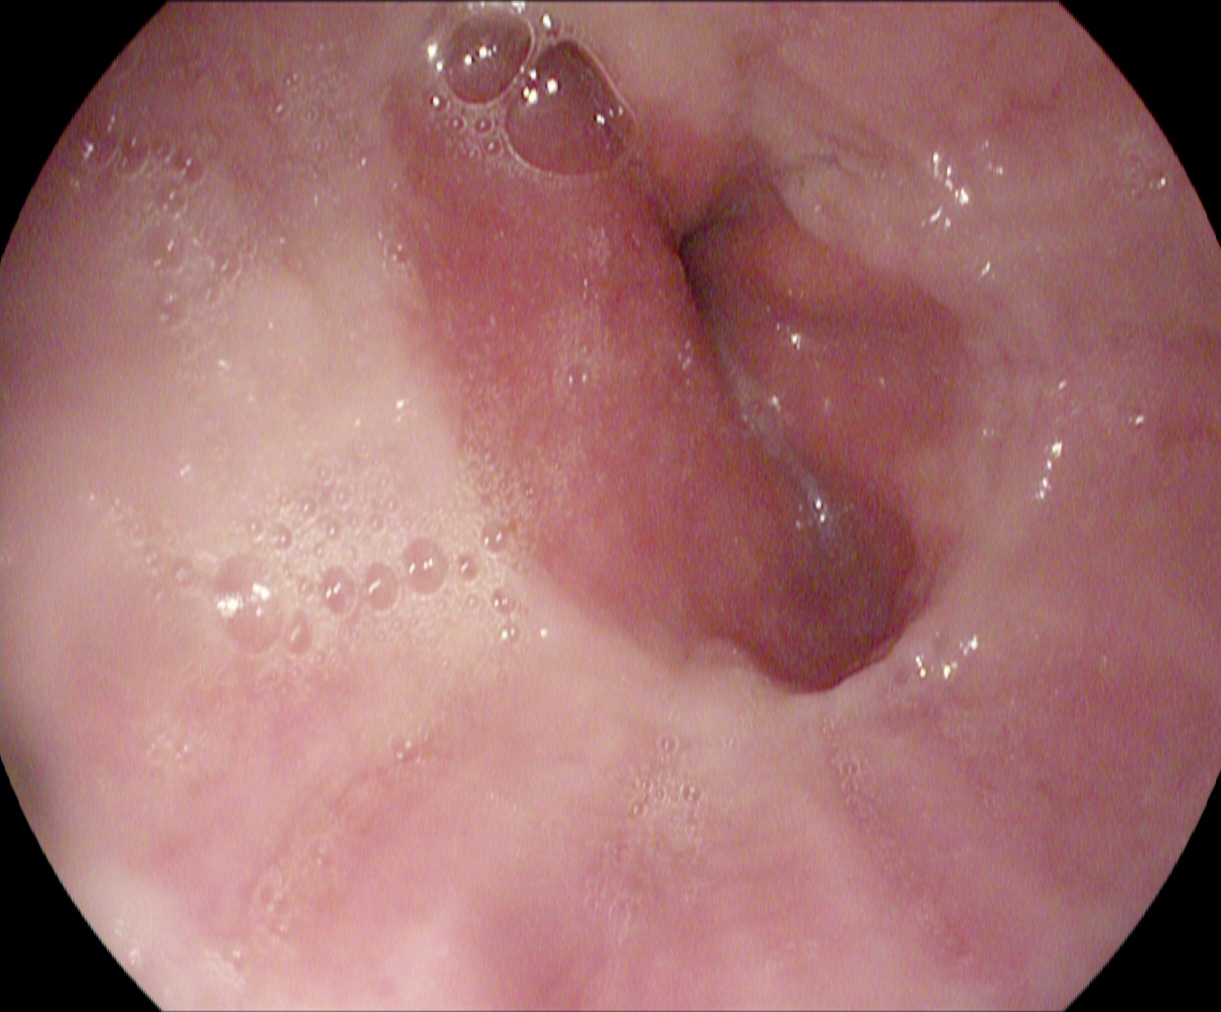This endoscopic image of the upper GI tract shows Z-line (gastroesophageal junction).